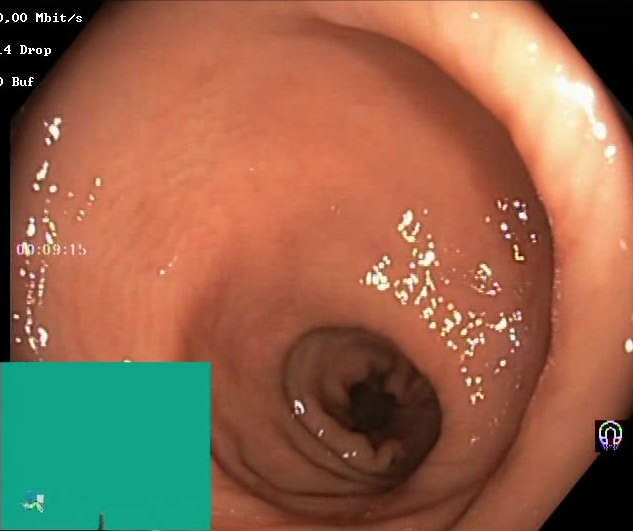{"modality": "lower-GI endoscopy", "tract": "lower GI tract", "finding": "Boston Bowel Preparation Scale score 2\u20133 (adequate preparation)"}